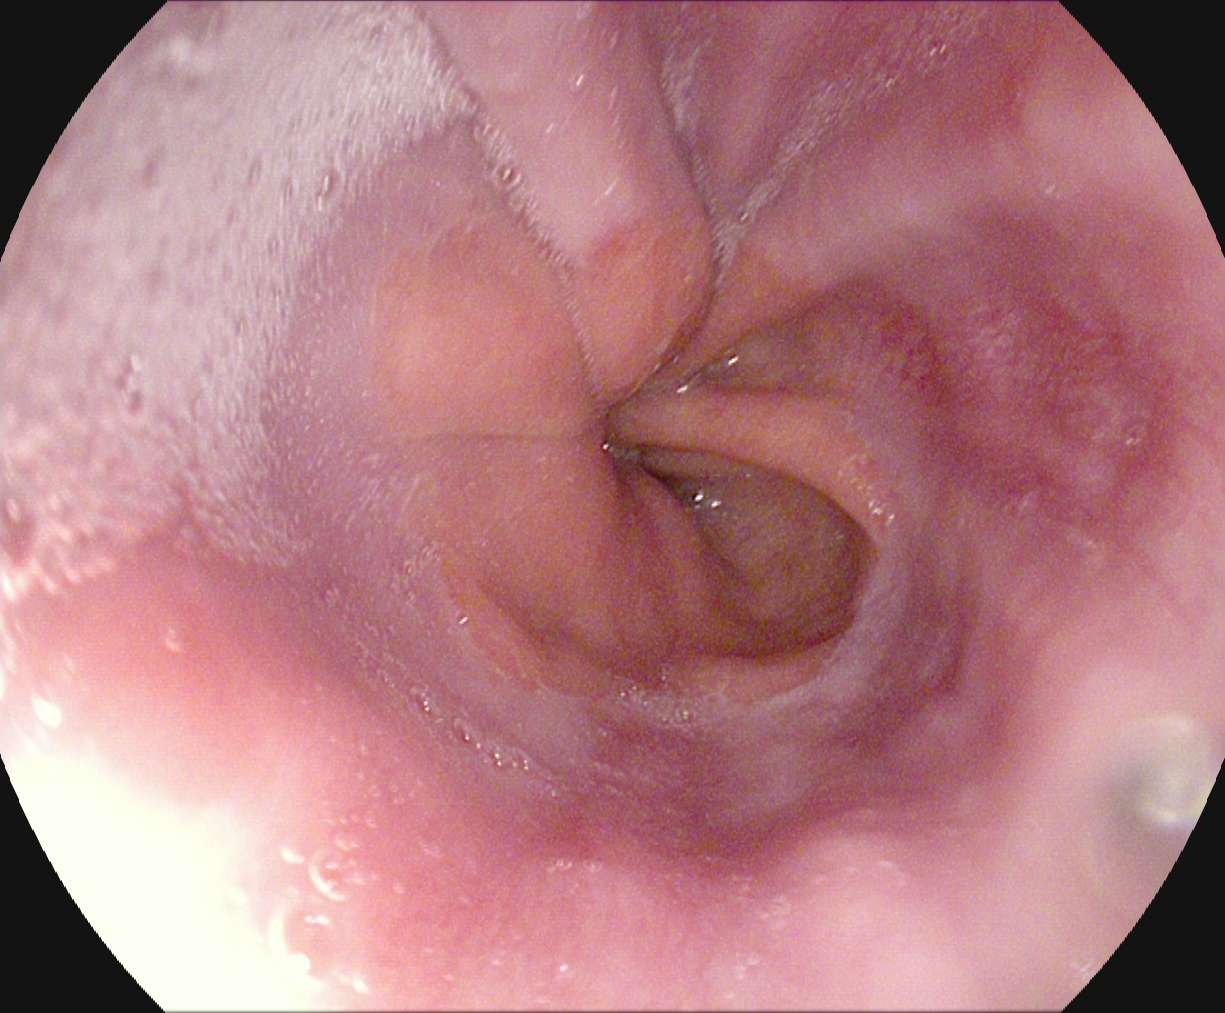Endoscopic image showing Z-line (gastroesophageal junction).